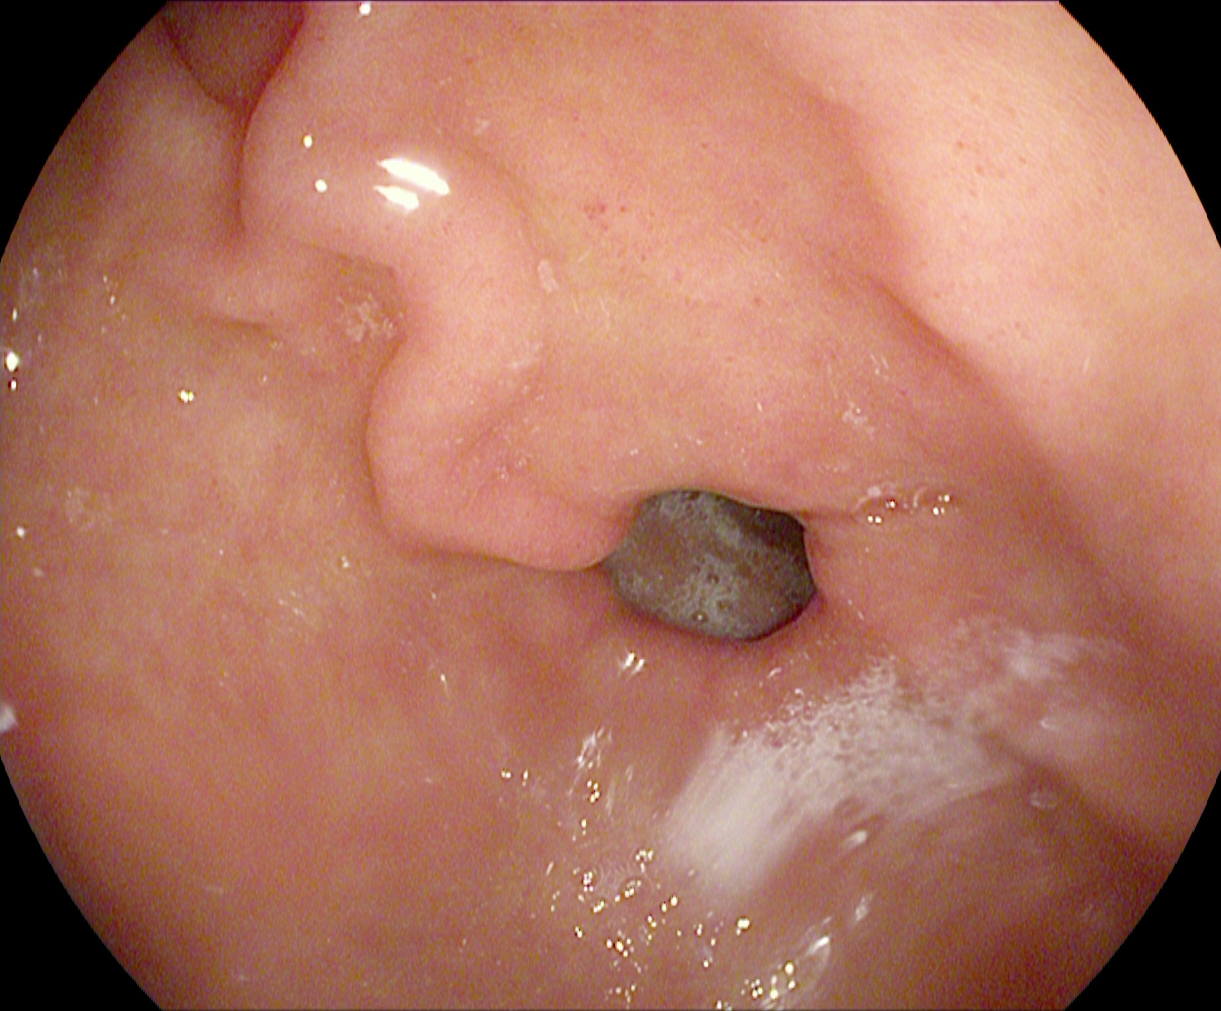This endoscopy frame of the upper GI tract shows pylorus.